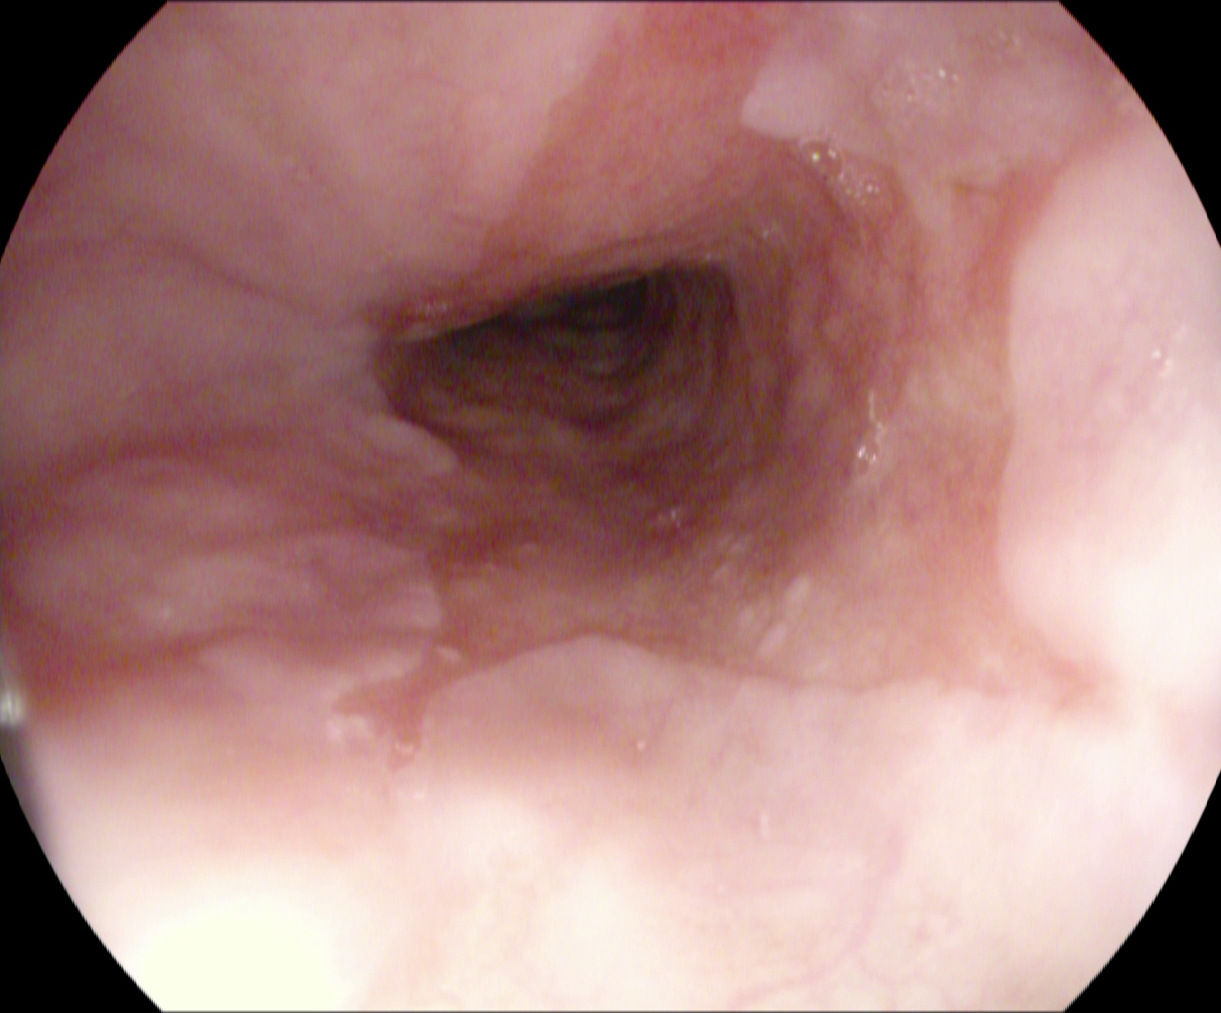PROCEDURE: Esophagogastroduodenoscopy.
CATEGORY: Pathological finding.
FINDINGS: Barrett's esophagus.